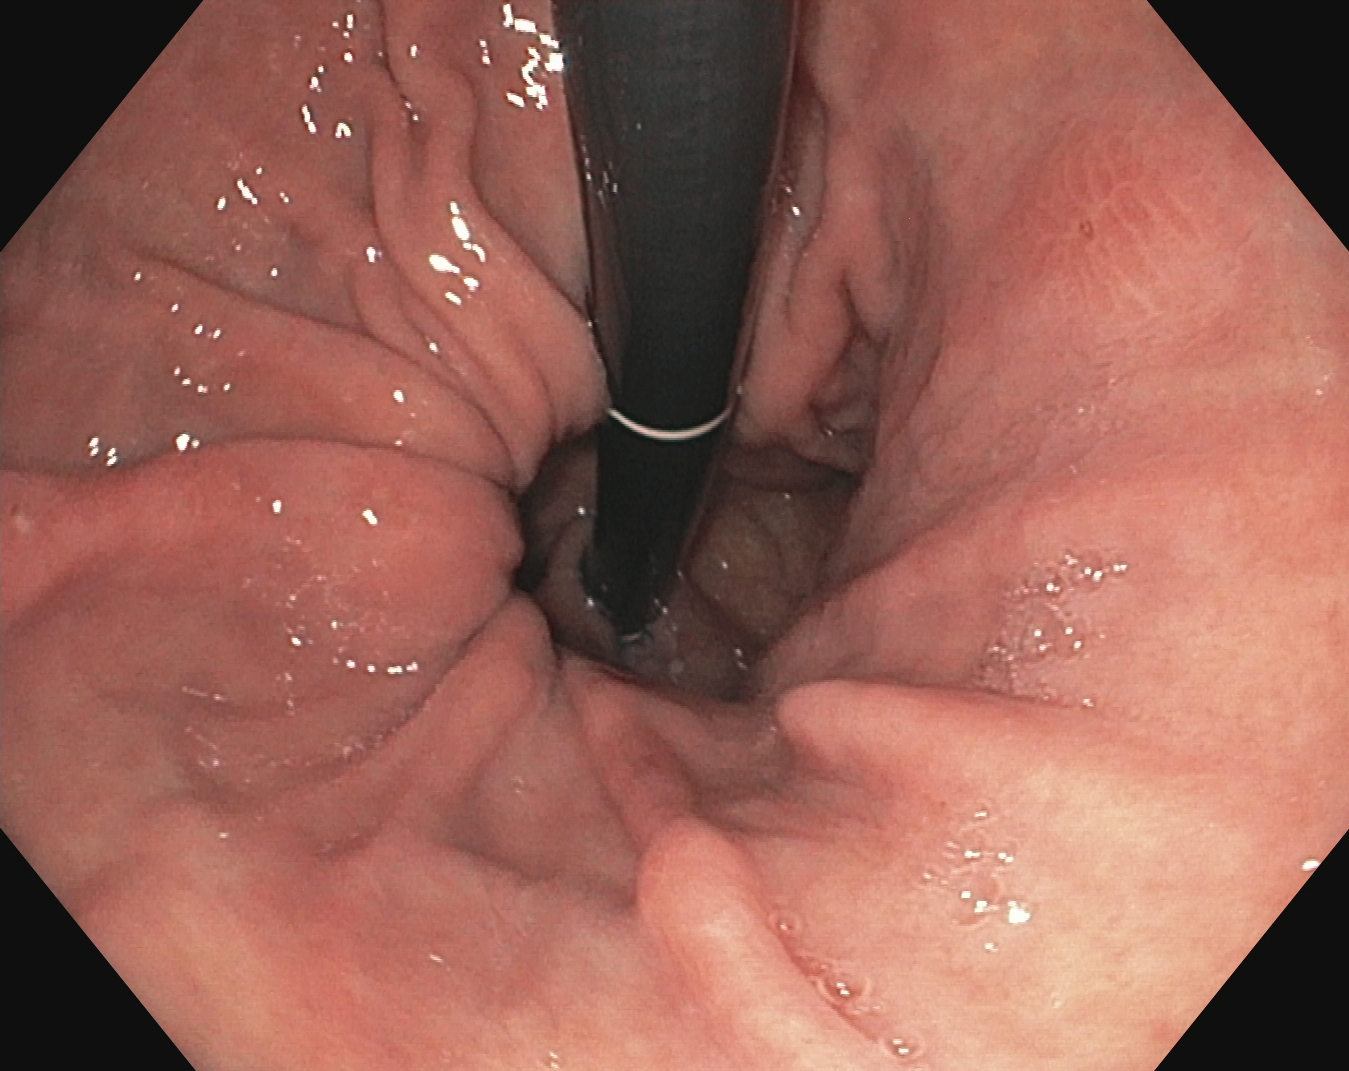Upper-GI endoscopy. Tract: upper GI tract. Finding: stomach in retroflexion.